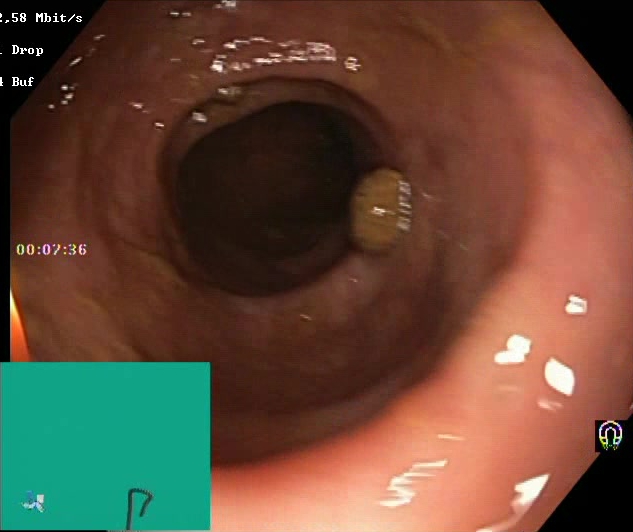This endoscopic image shows Boston Bowel Preparation Scale score 2–3 (adequate preparation).